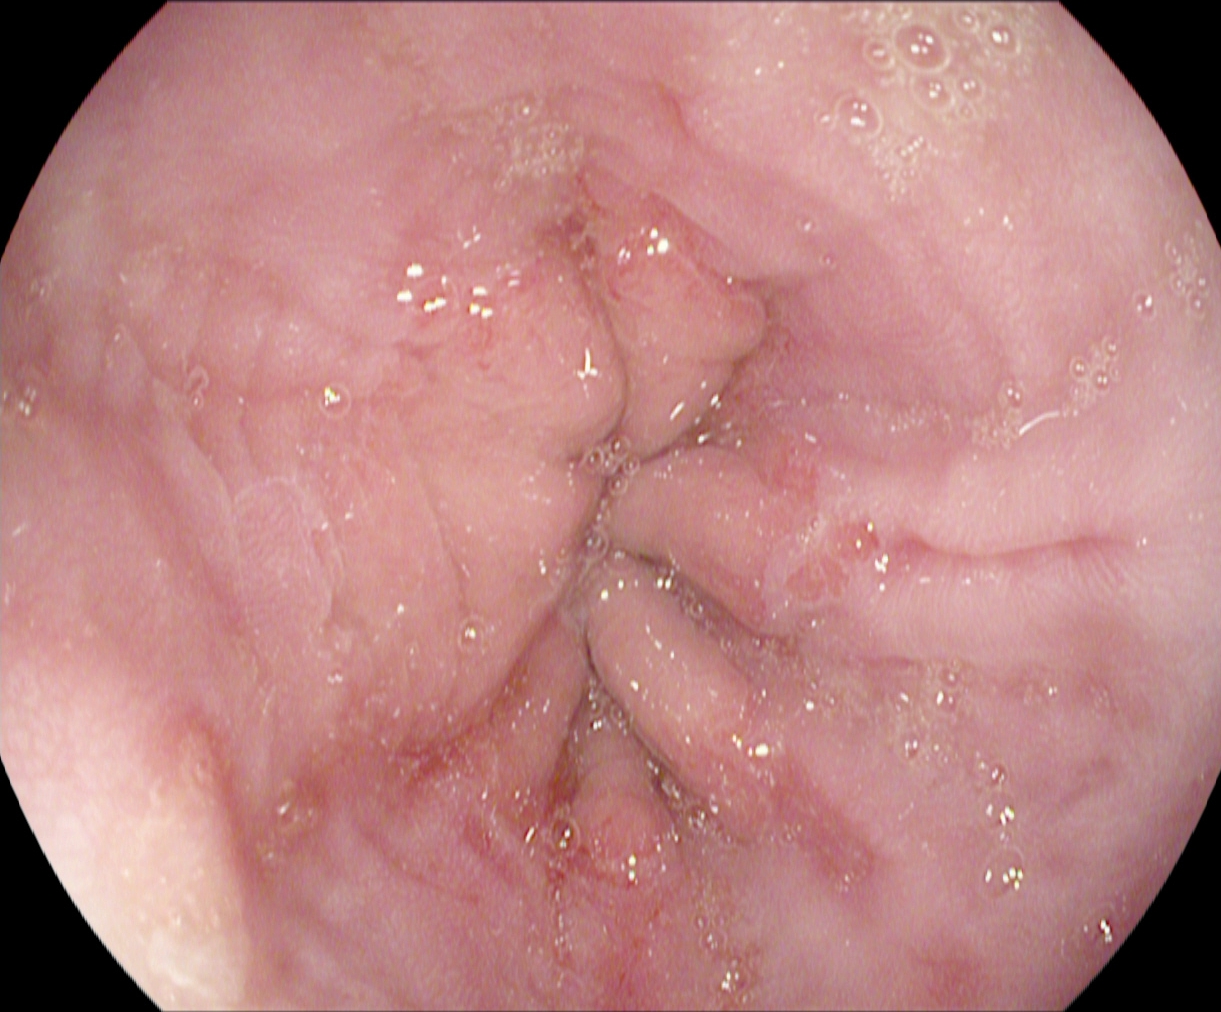EGD — reflux esophagitis, LA grade A.